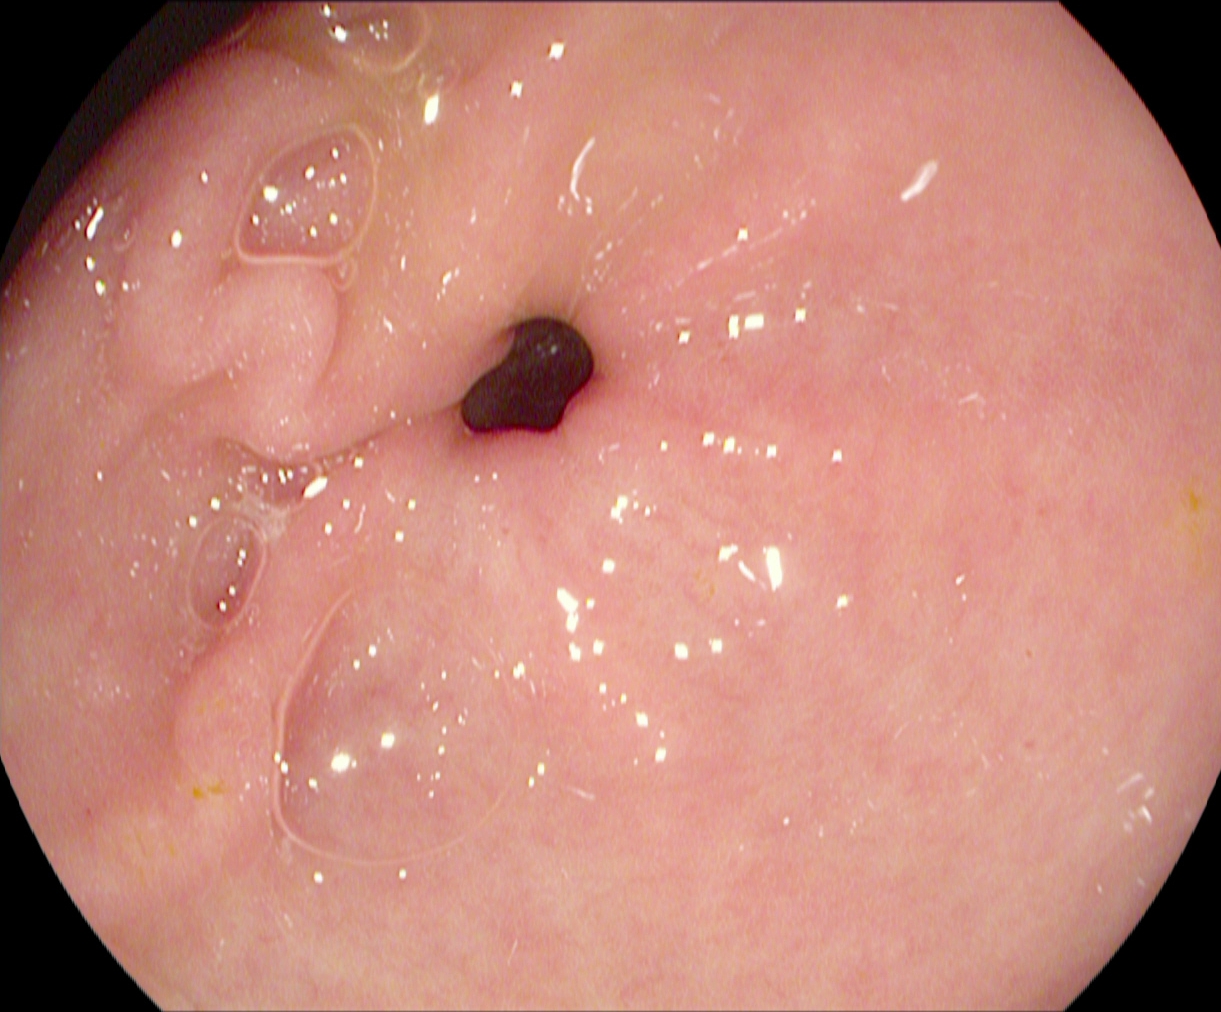EGD — pylorus.